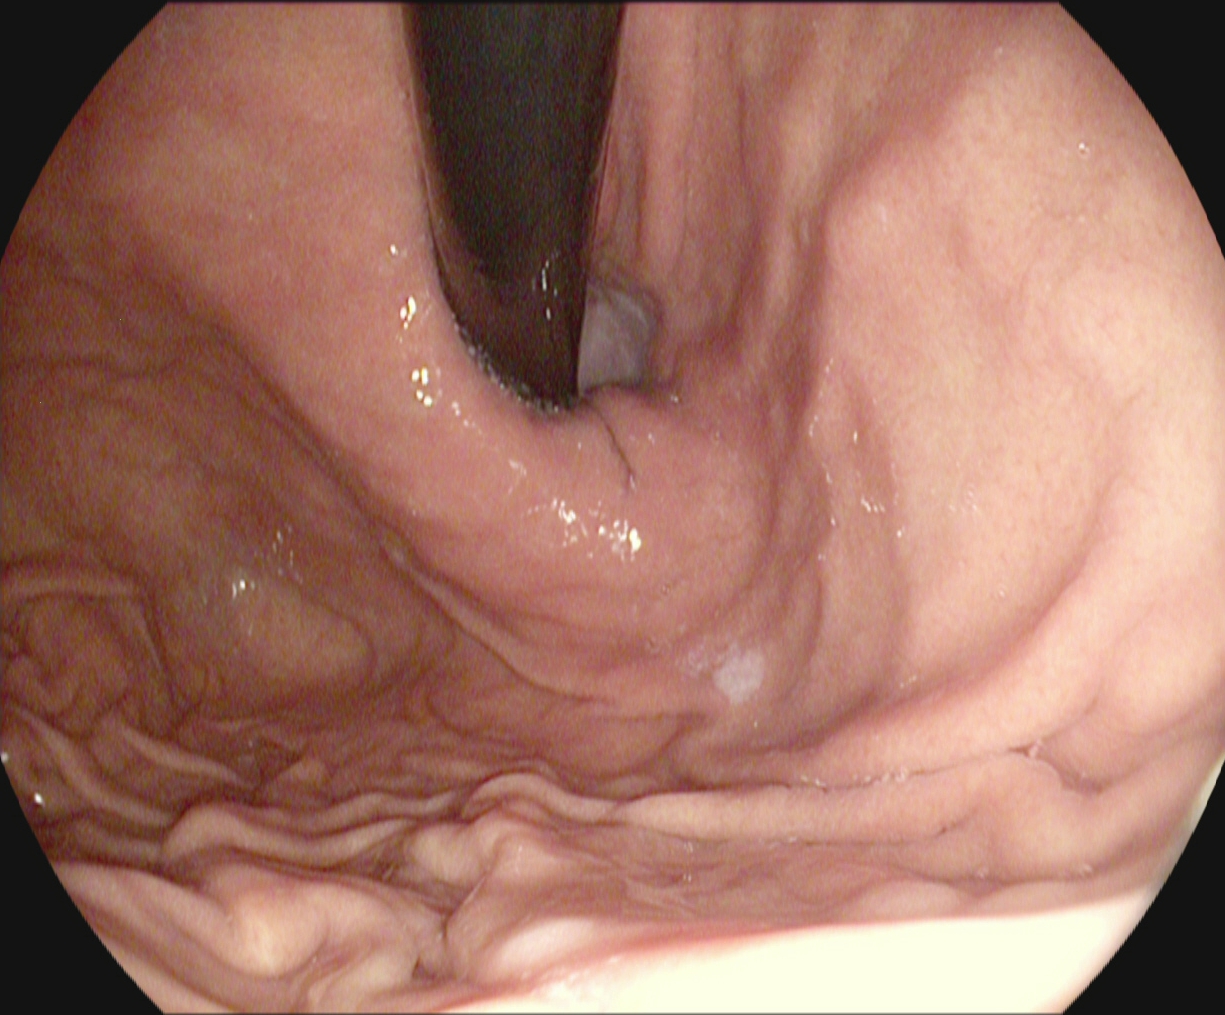modality: EGD
category: anatomical landmark
finding: stomach in retroflexion